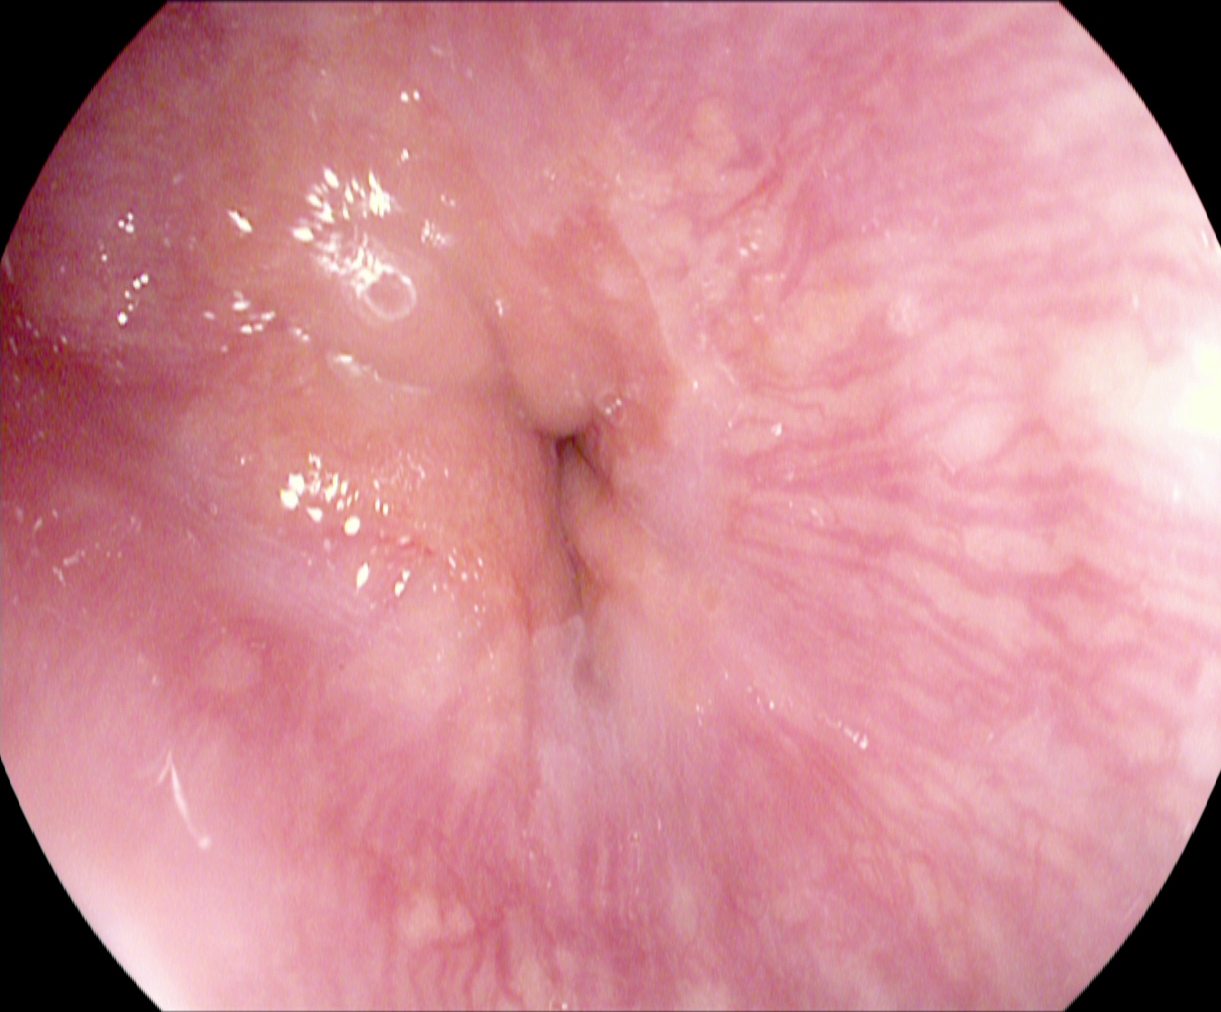GI endoscopy image of the upper GI tract showing Z-line (gastroesophageal junction).